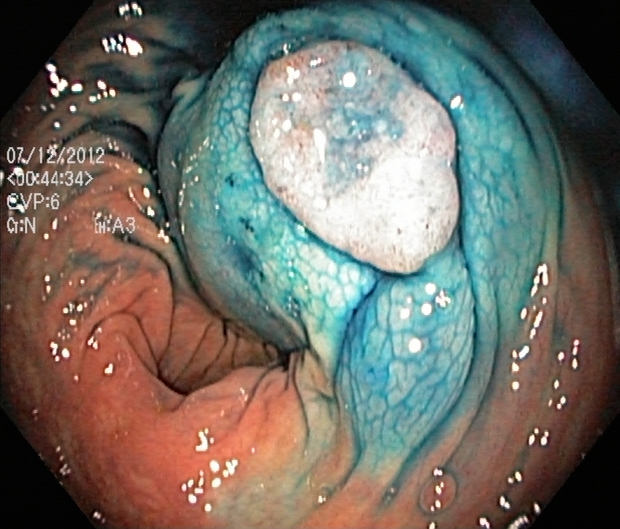Colonoscopy. Tract: lower GI tract. Finding: dyed and lifted polyp (pre-resection).